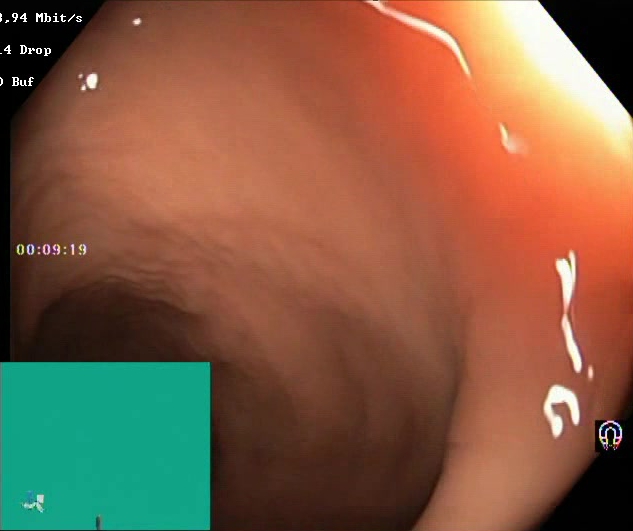This endoscopy frame shows BBPS score 2–3 (adequate preparation).